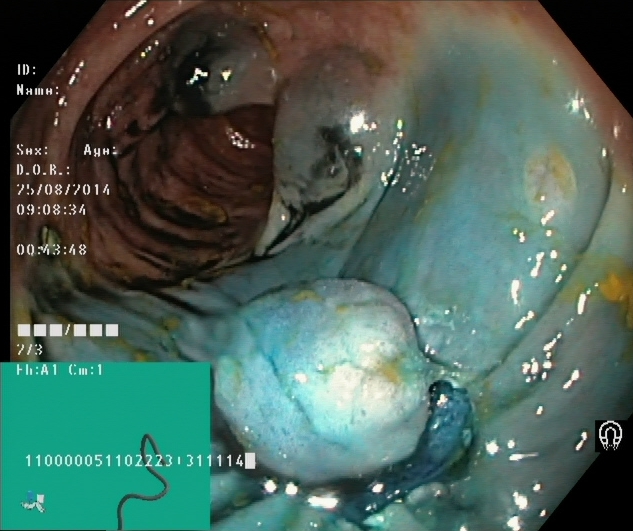Dyed and lifted polyp (pre-resection).